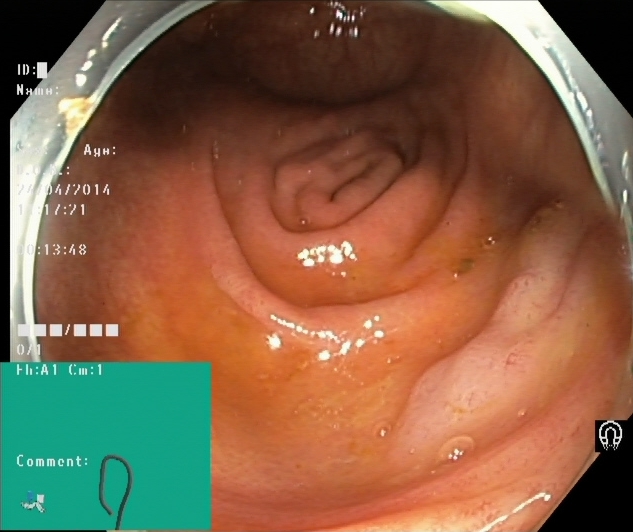Endoscopic image showing cecum.